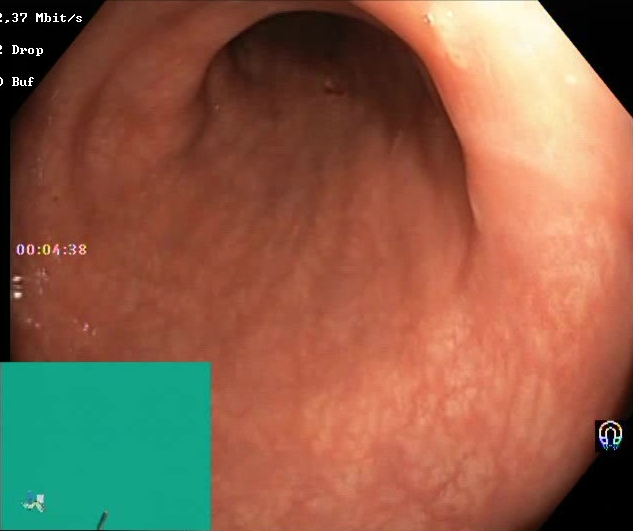PROCEDURE: Lower-GI endoscopy.
FINDINGS: Boston Bowel Preparation Scale score 2–3 (adequate preparation).